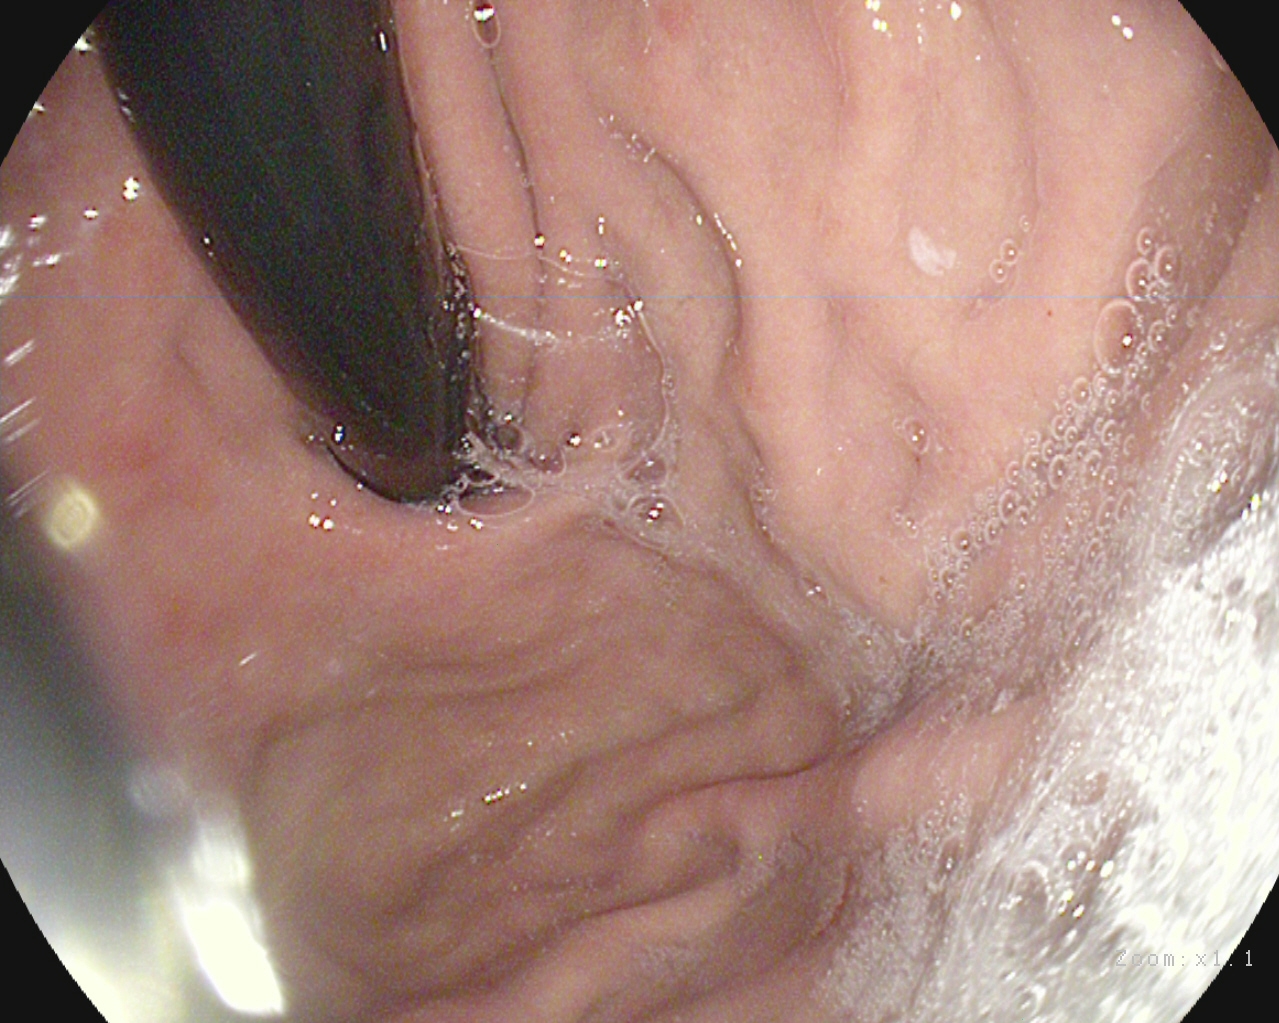EGD — stomach in retroflexion.